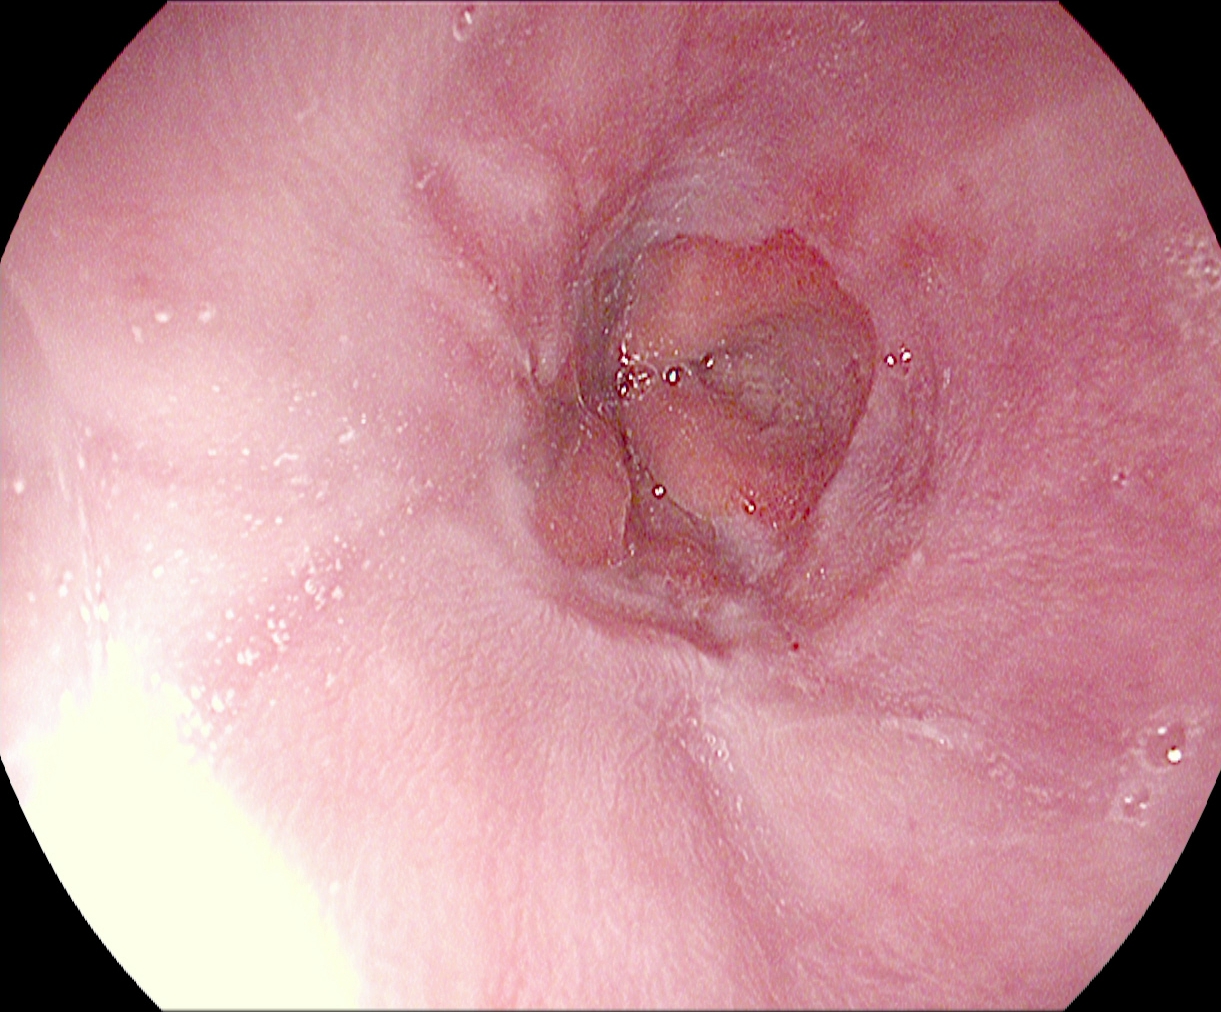Gastroscopy image showing reflux esophagitis, Los Angeles grade A.